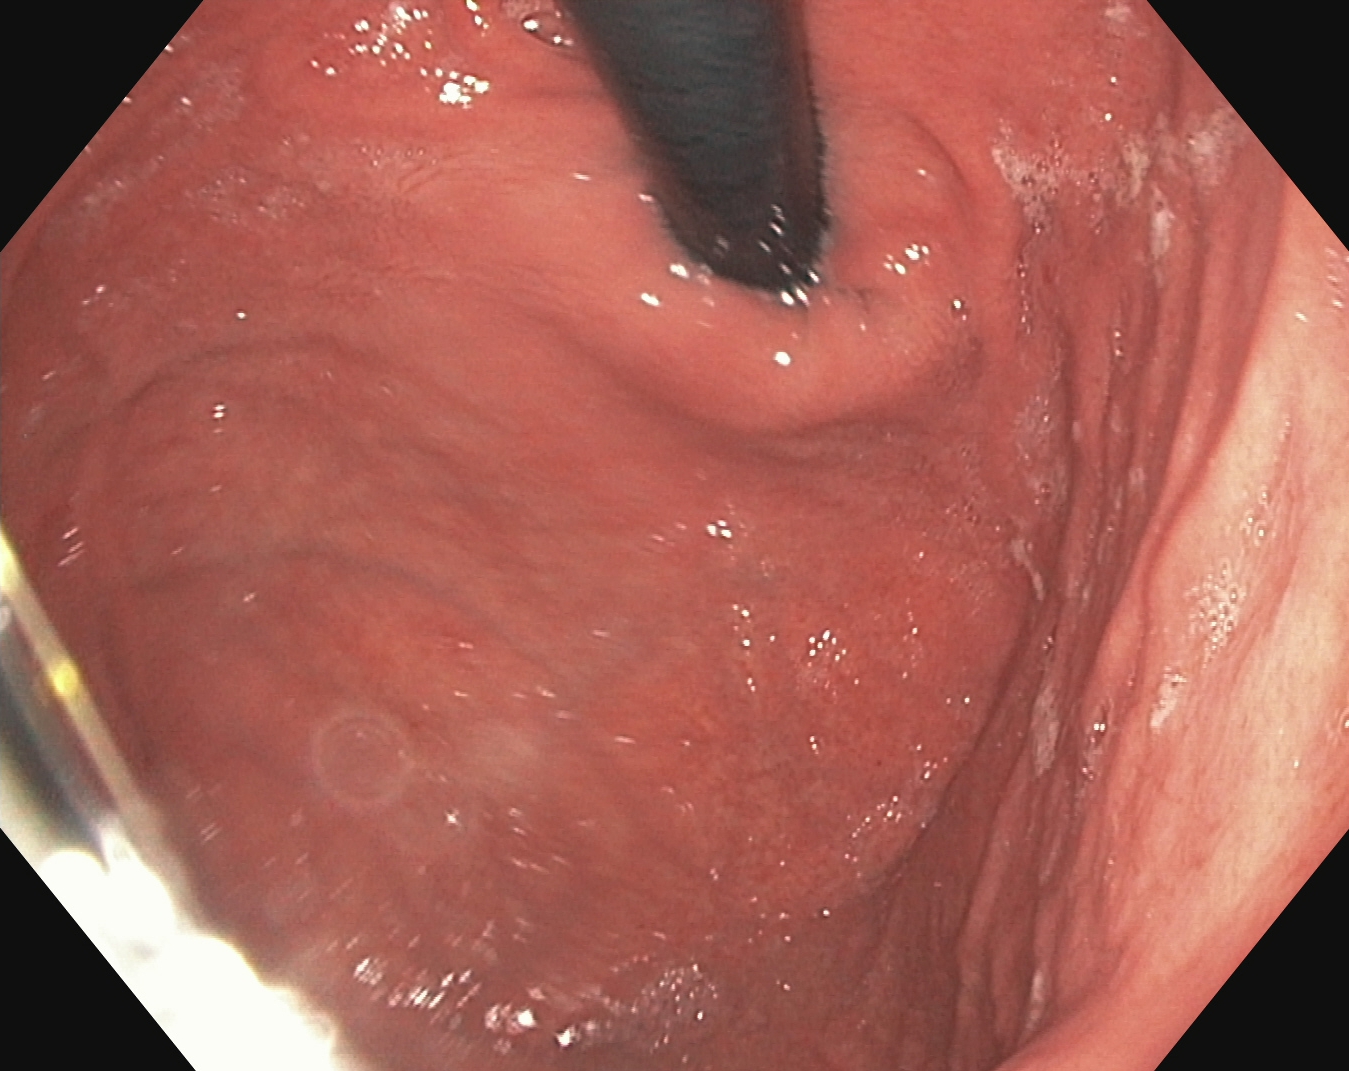Endoscopic frame of the upper GI tract showing stomach in retroflexion.